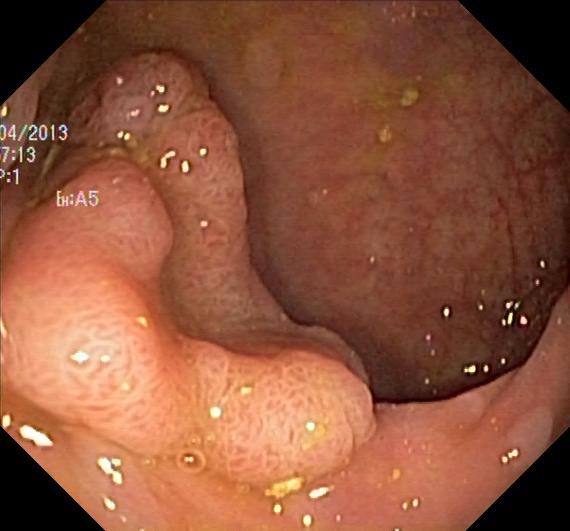PROCEDURE: Lower gastrointestinal endoscopy.
FINDINGS: Colorectal polyp(s).